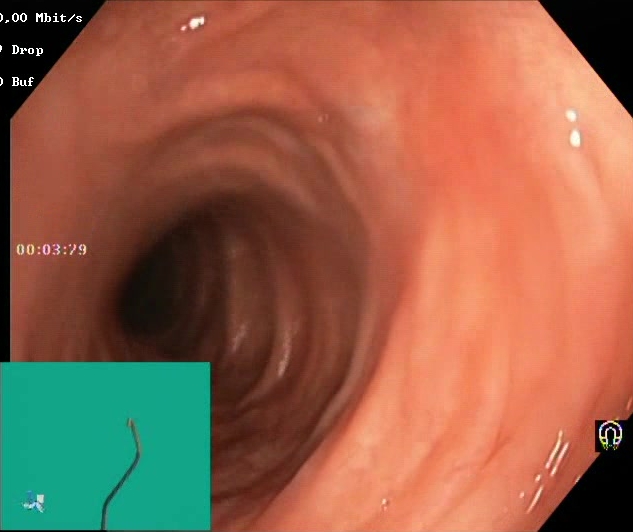PROCEDURE: Lower gastrointestinal endoscopy.
FINDINGS: Boston Bowel Preparation Scale score 2–3 (adequate preparation).